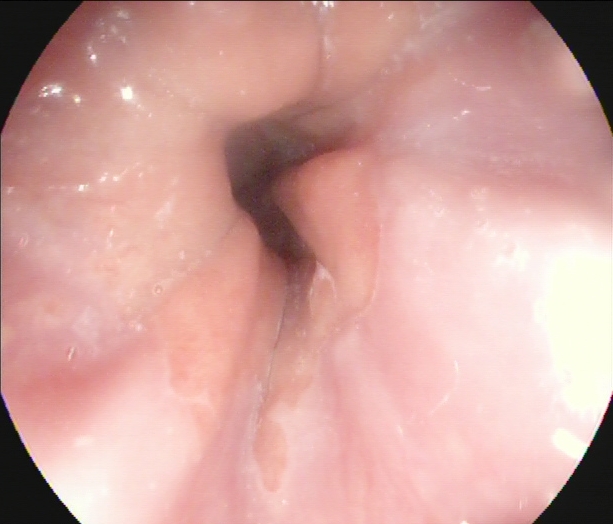Z-line (gastroesophageal junction).